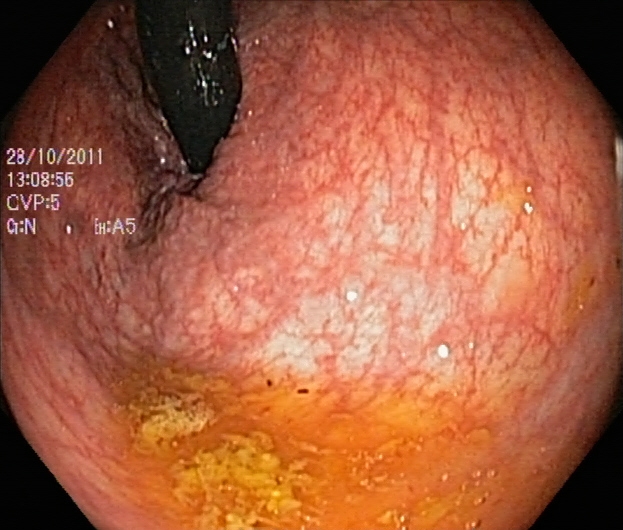modality: colonoscopy; tract: lower GI tract; finding: rectum in retroflexion